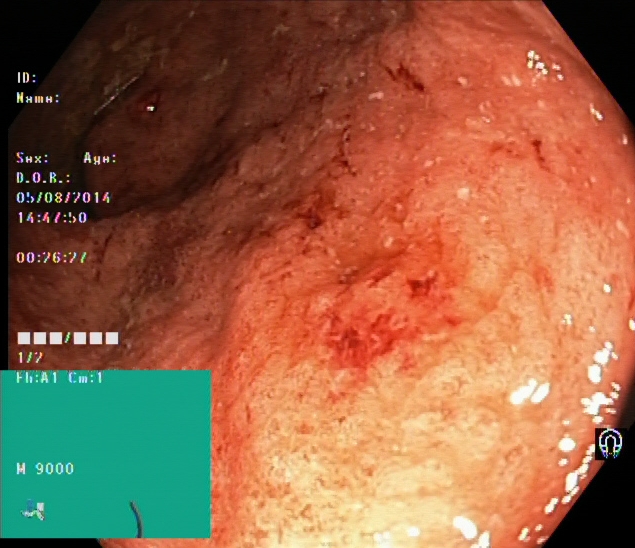PROCEDURE: Lower gastrointestinal endoscopy.
CATEGORY: Pathological finding.
FINDINGS: UC, Mayo endoscopic subscore 2.